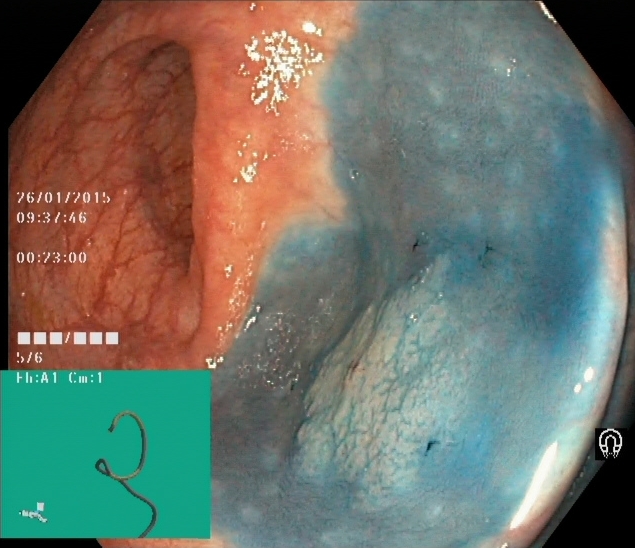{"modality": "lower-GI endoscopy", "finding": "dyed and lifted polyp (pre-resection)"}